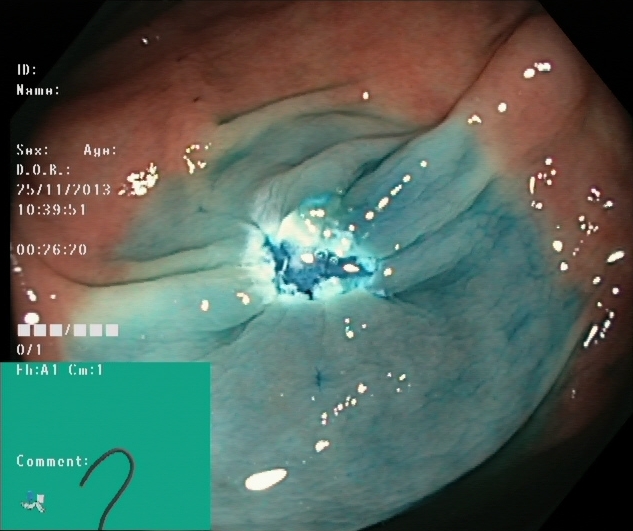This endoscopic image of the lower GI tract shows dyed resection margins (post-polypectomy).